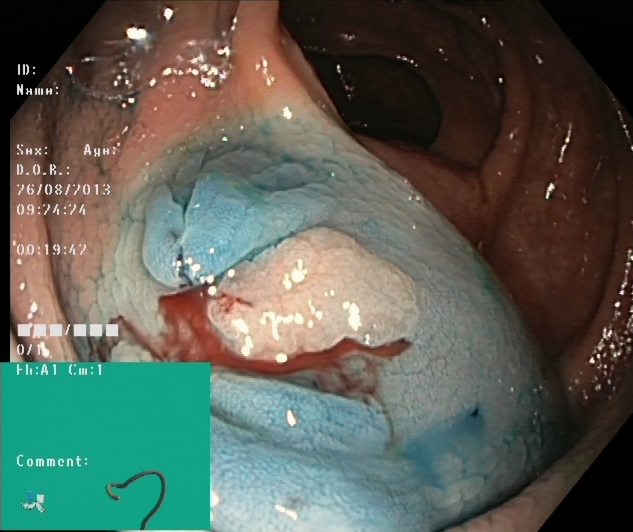Endoscopic image of the lower GI tract showing dyed and lifted polyp (pre-resection).